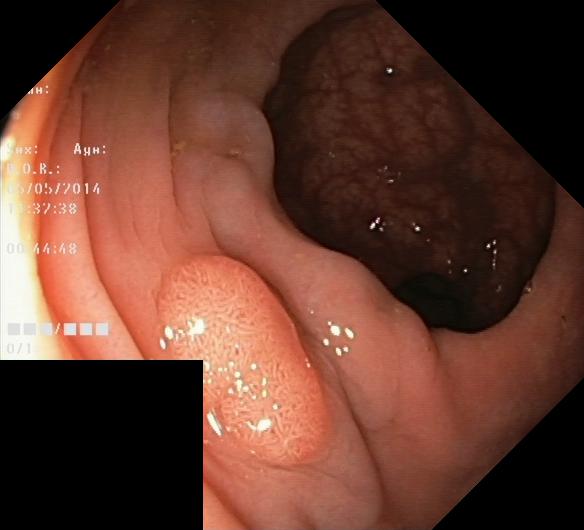Colorectal polyp(s).